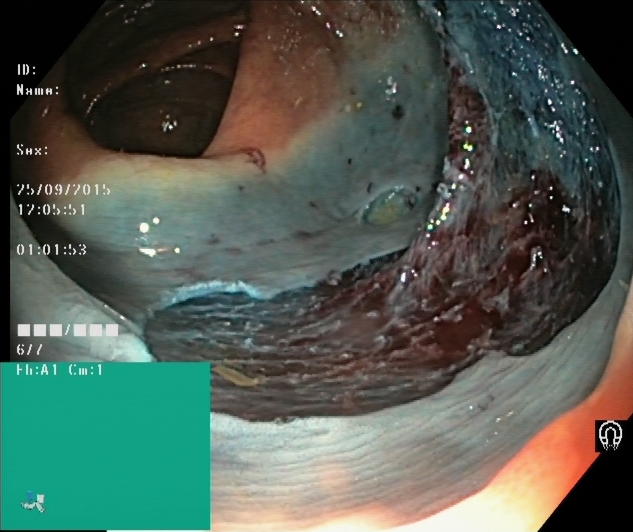This endoscopic image of the lower GI tract shows dyed resection margins (post-polypectomy).